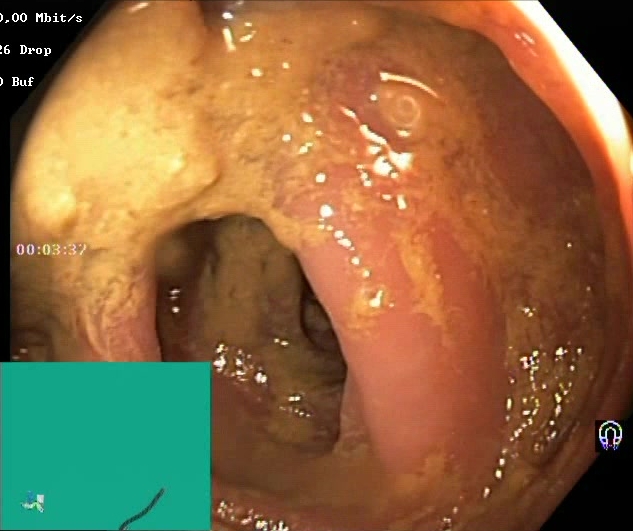This endoscopy frame shows Boston Bowel Preparation Scale score 0–1 (inadequate preparation).